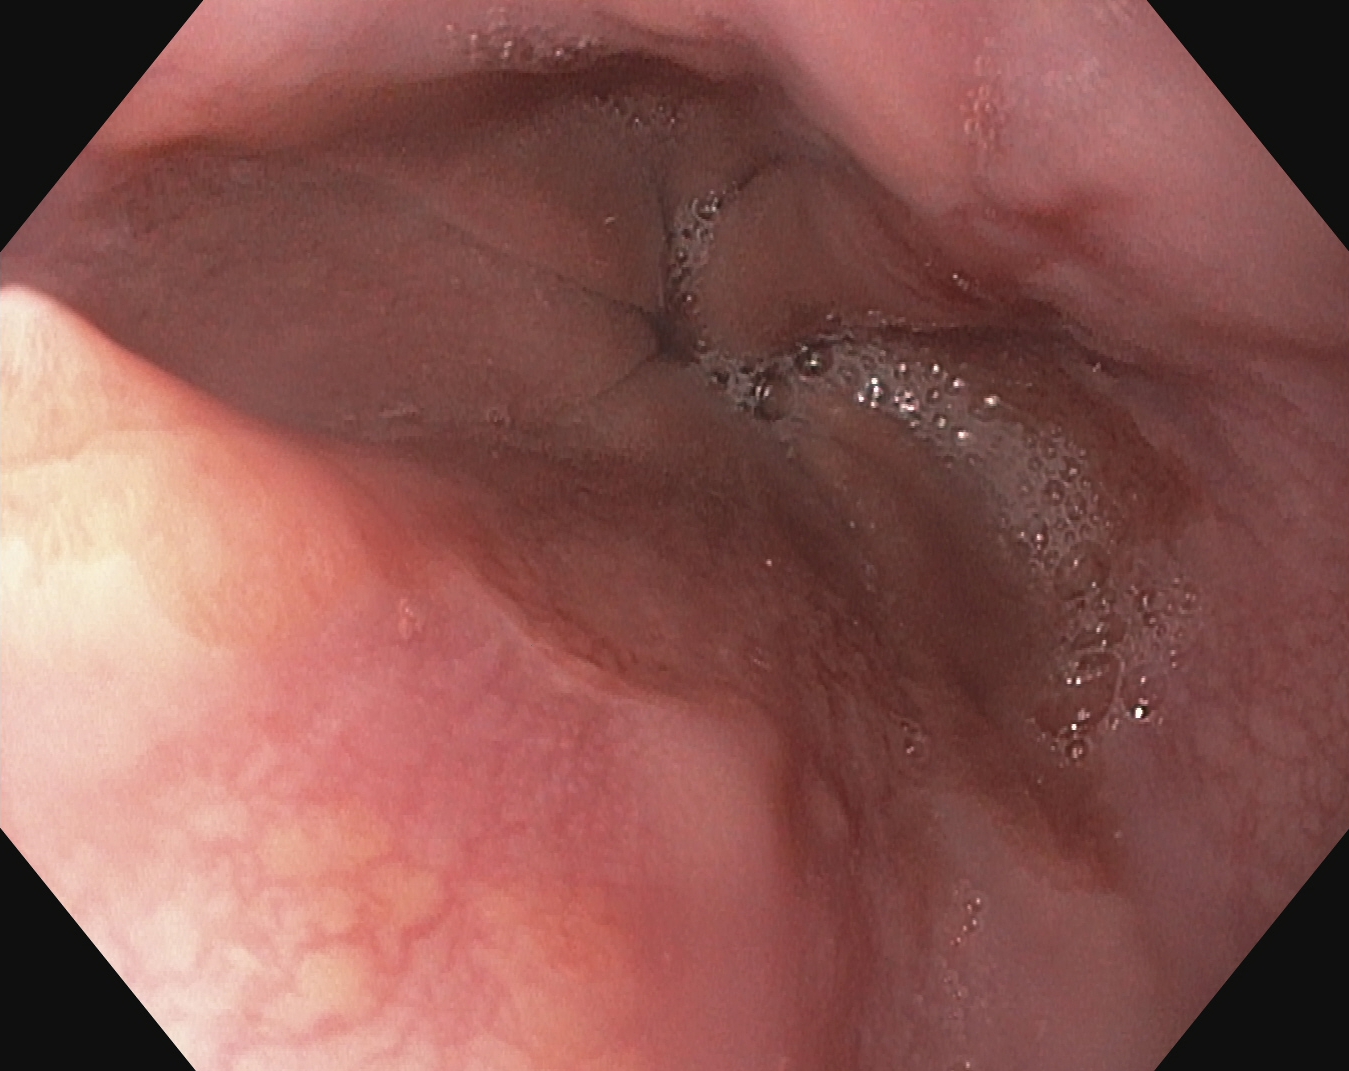Upper-GI endoscopy. Tract: upper GI tract. Finding: reflux esophagitis, LA grade A.